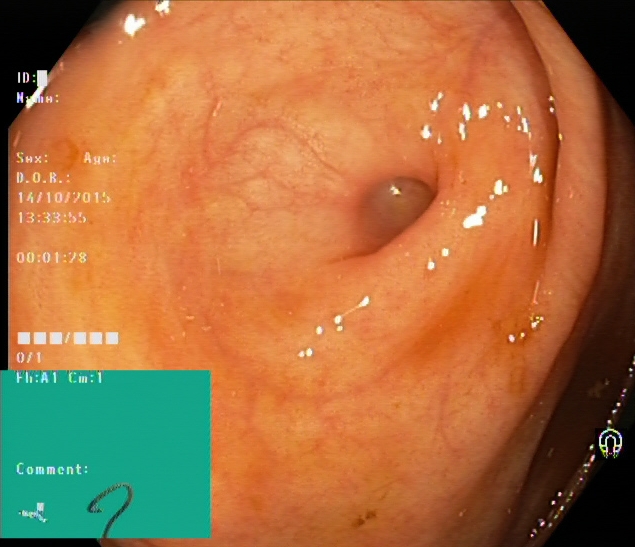Colonoscopy image showing cecum.